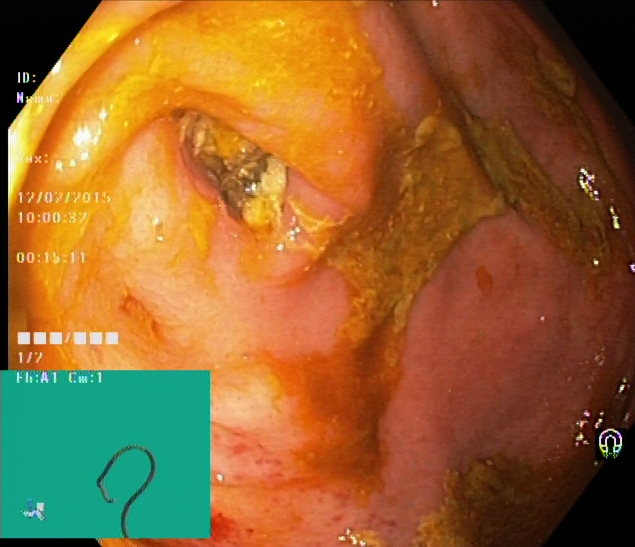Lower-GI endoscopy. Tract: lower GI tract. Finding: cecum.